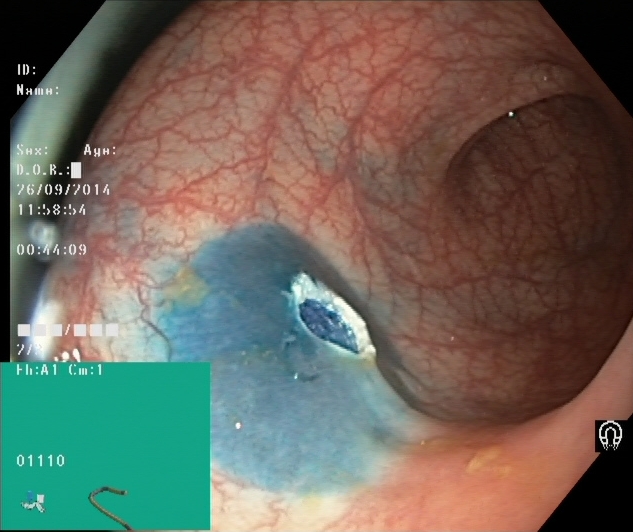dyed resection margins (post-polypectomy).